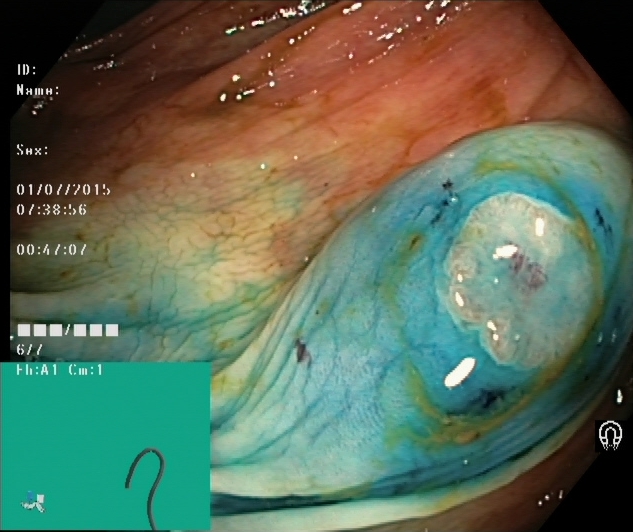{"modality": "colonoscopy", "category": "therapeutic intervention", "finding": "dyed and lifted polyp (pre-resection)"}